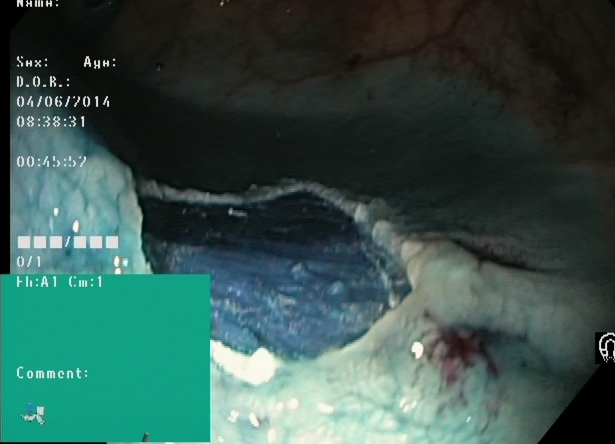{"modality": "lower gastrointestinal endoscopy", "tract": "lower GI tract", "finding": "dyed resection margins (post-polypectomy)"}